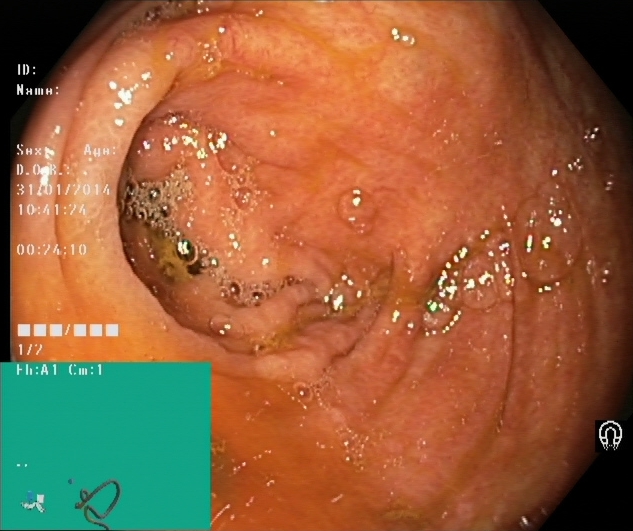PROCEDURE: Colonoscopy.
FINDINGS: Cecum.